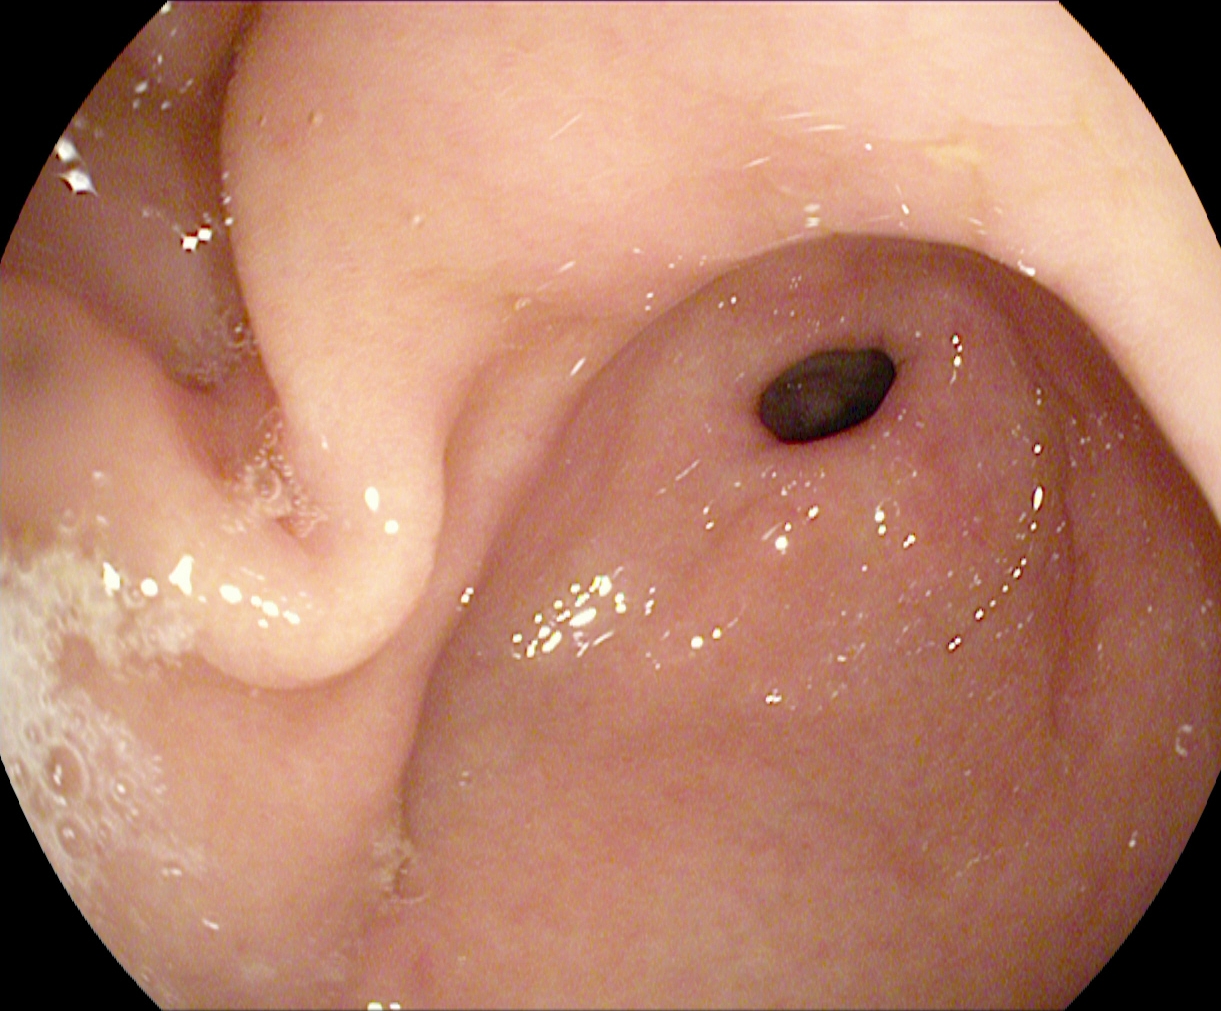Pylorus.